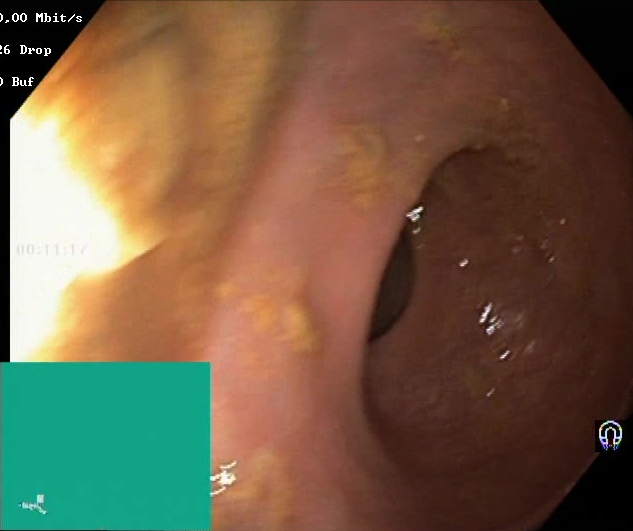PROCEDURE: Lower gastrointestinal endoscopy.
FINDINGS: BBPS score 0–1 (inadequate preparation).